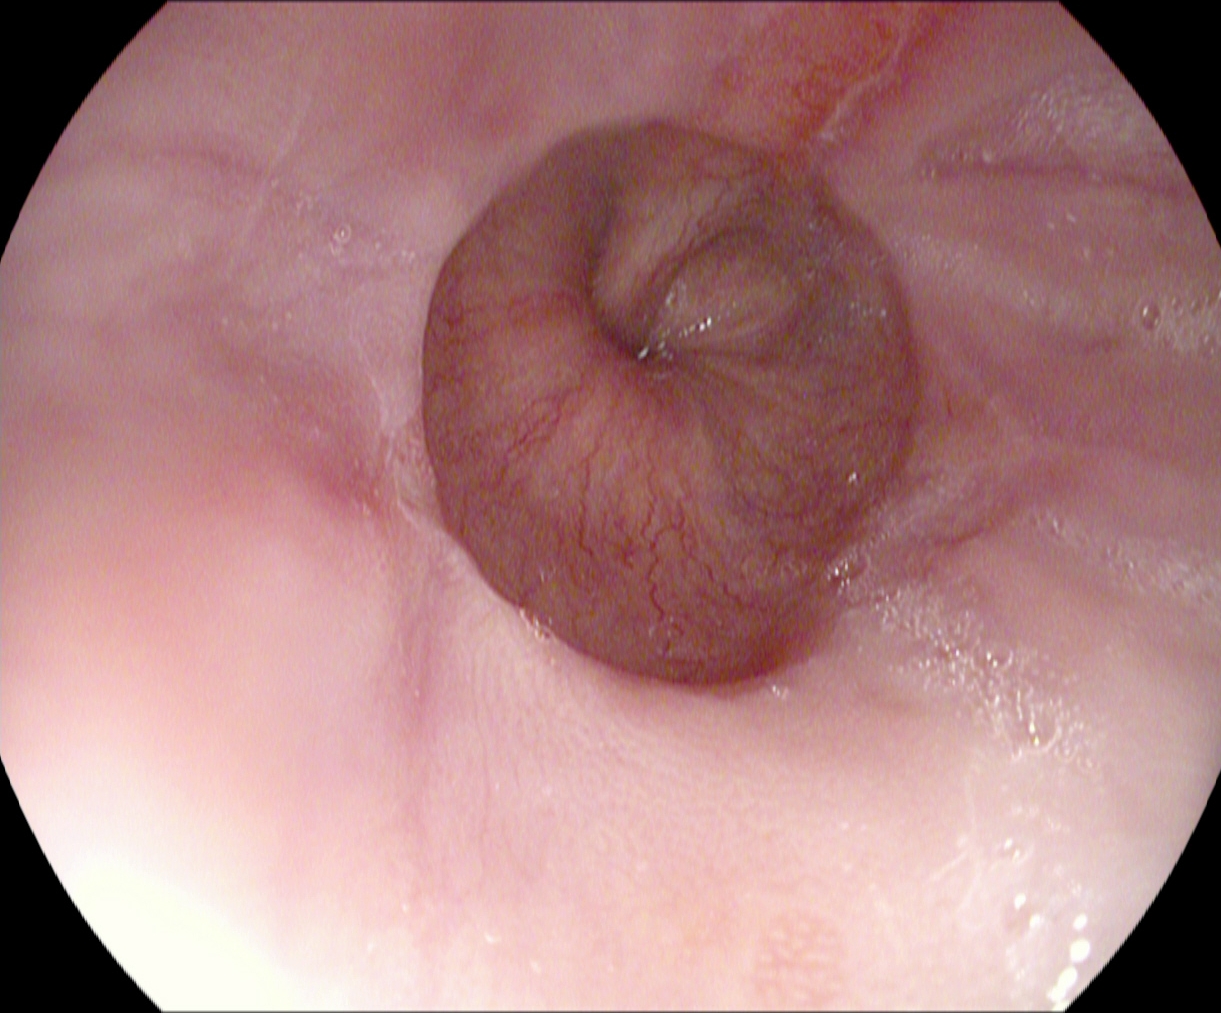PROCEDURE: EGD.
FINDINGS: Reflux esophagitis, LA grade A.